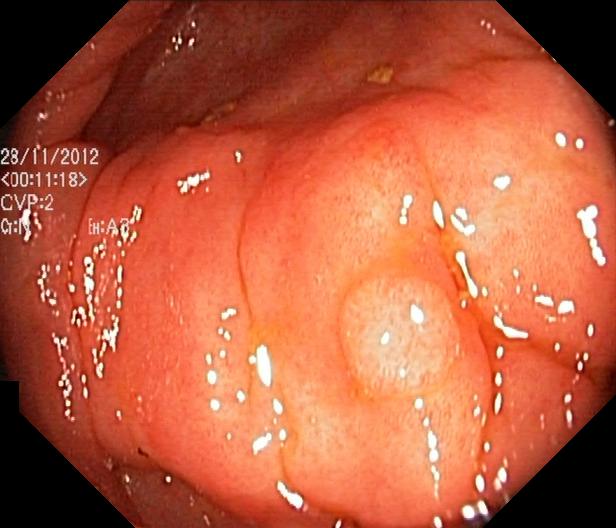{"modality": "lower gastrointestinal endoscopy", "finding": "colorectal polyp(s)"}